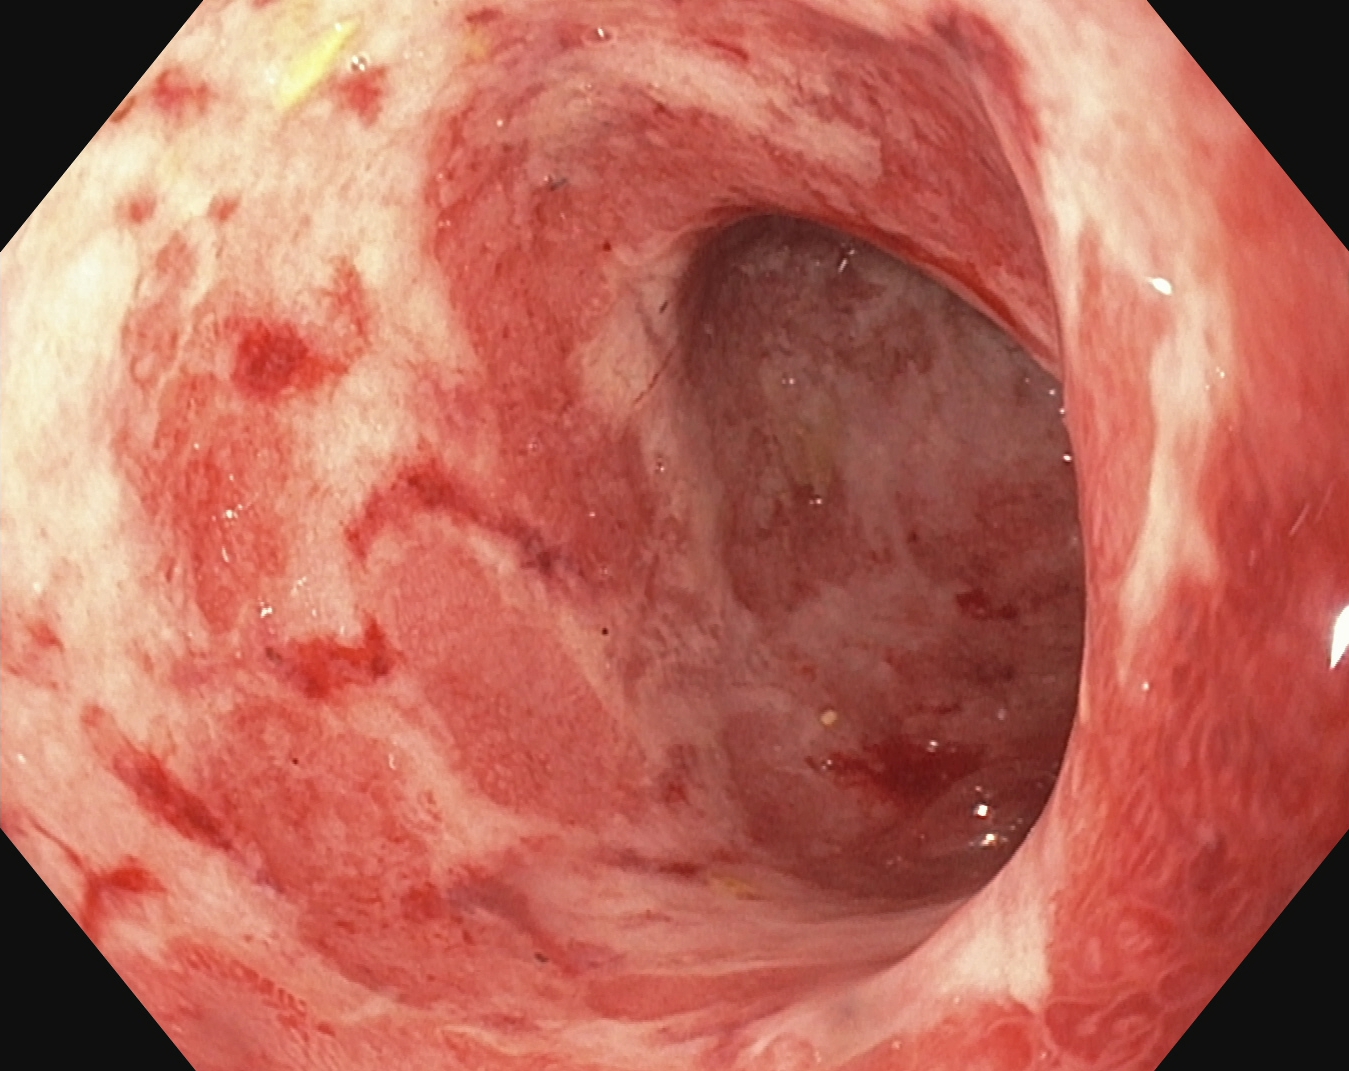Lower-GI endoscopy. Finding: UC, Mayo endoscopic subscore 3.